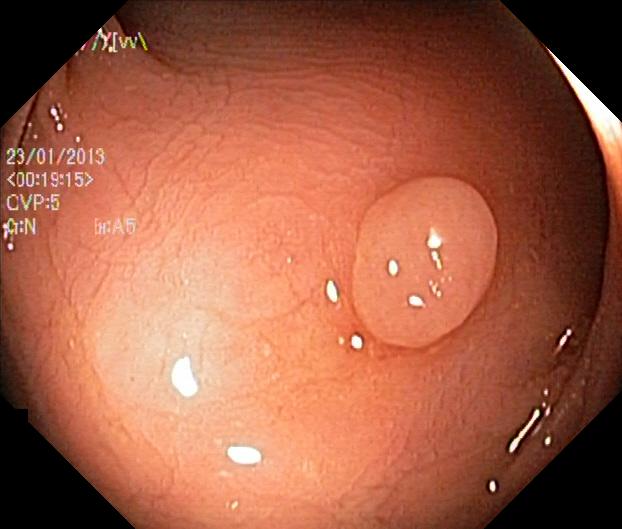Lower-GI endoscopy — colorectal polyp(s).